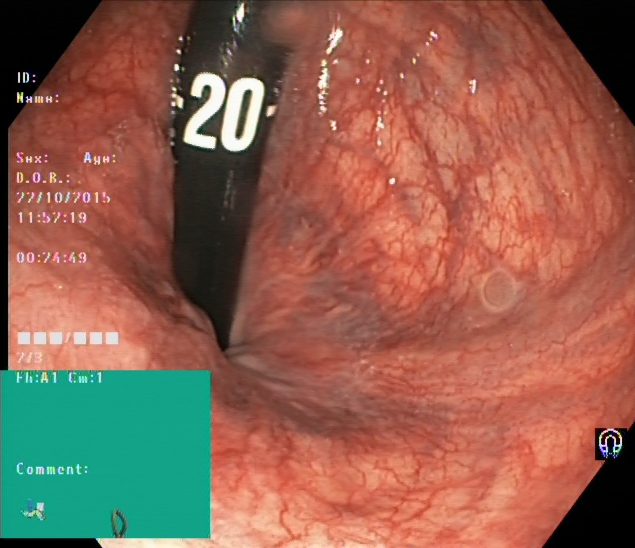{"modality": "colonoscopy", "tract": "lower GI tract", "category": "anatomical landmark", "finding": "rectum in retroflexion"}